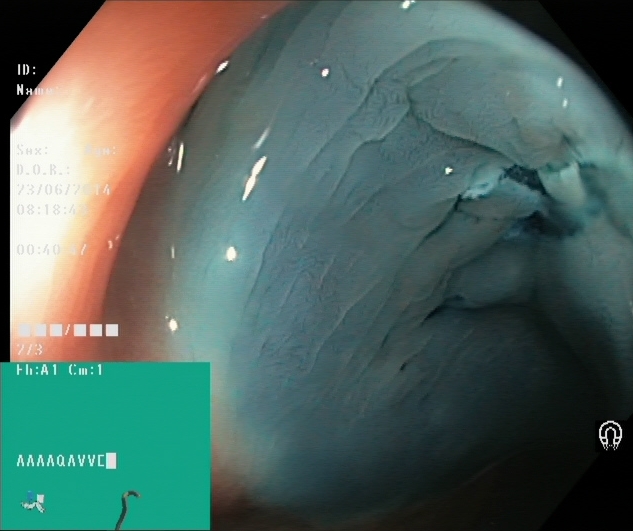Colonoscopy. Tract: lower GI tract. Finding: dyed resection margins (post-polypectomy).